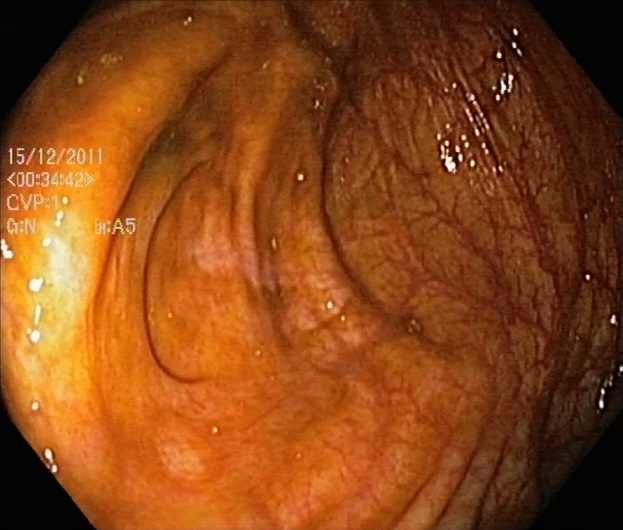This endoscopic image of the lower GI tract shows cecum.